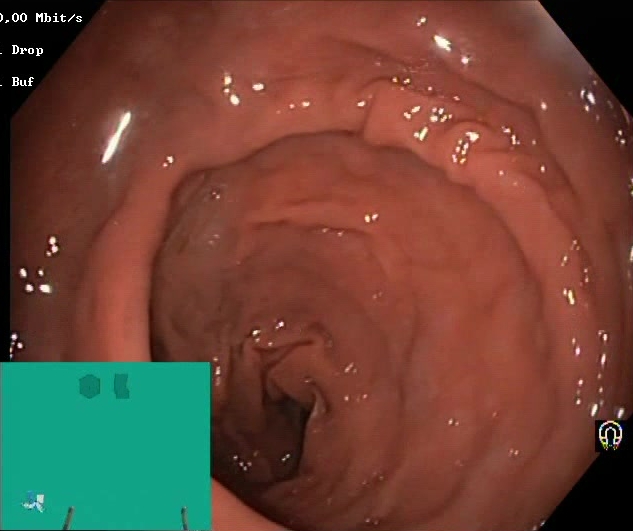Gastrointestinal endoscopy image of the lower GI tract showing Boston Bowel Preparation Scale score 2–3 (adequate preparation).